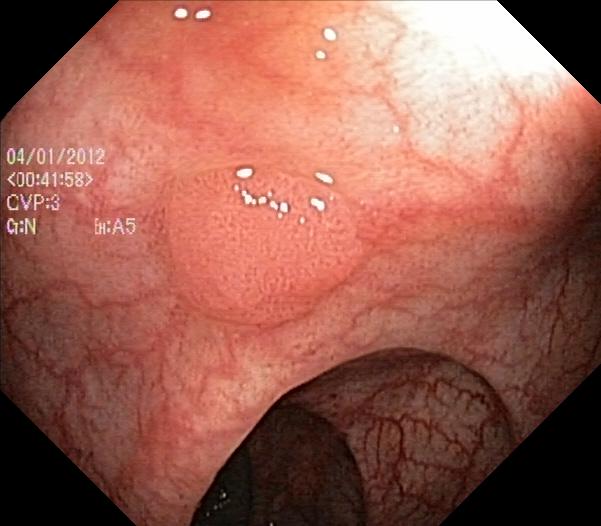Colonoscopy. Tract: lower GI tract. Finding: colorectal polyp(s).